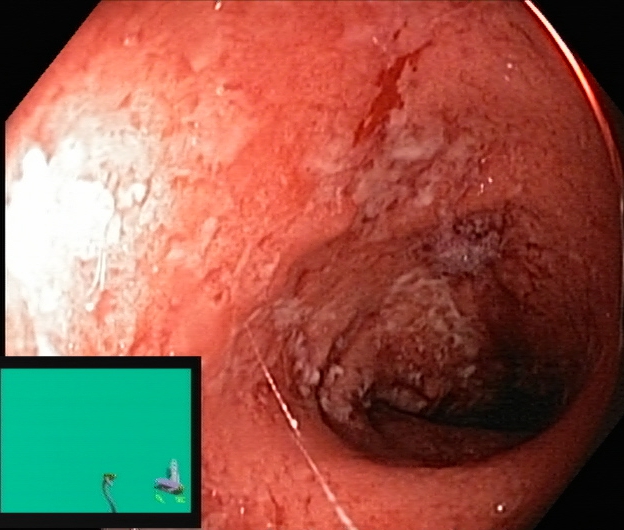{"modality": "colonoscopy", "finding": "UC, Mayo endoscopic subscore 2"}